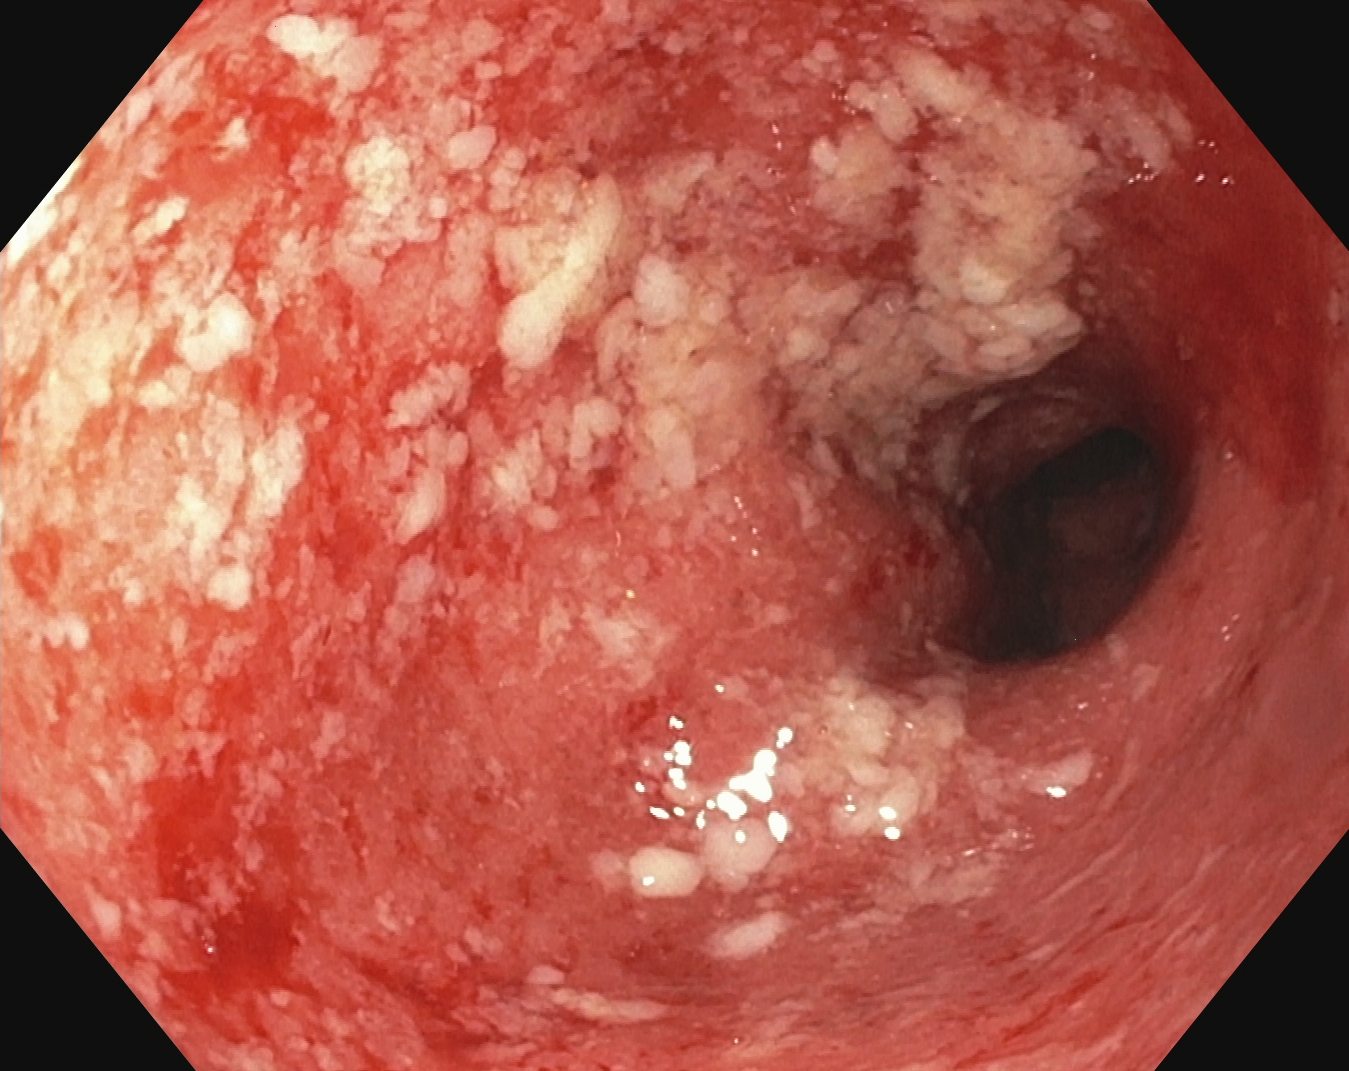Colonoscopy. Tract: lower GI tract. Finding: UC, Mayo endoscopic subscore 2.